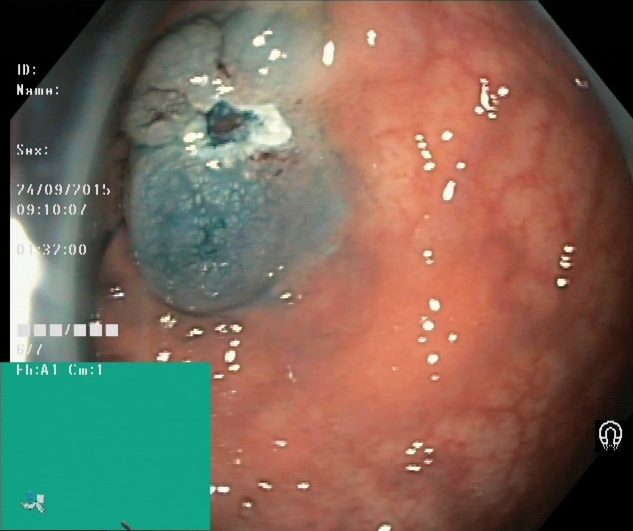Dyed resection margins (post-polypectomy).